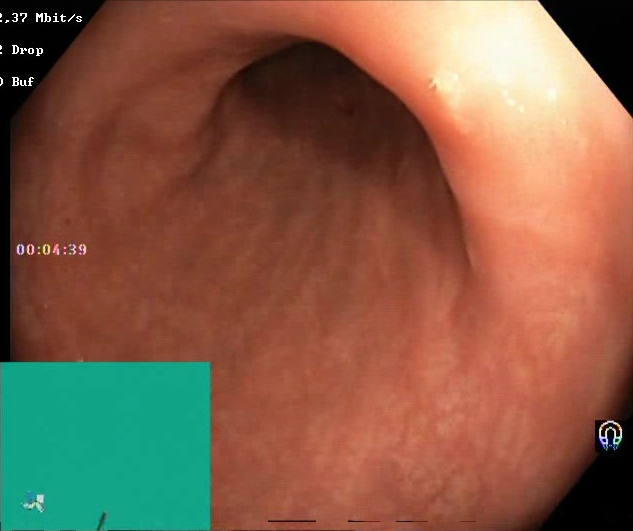This endoscopy frame of the lower GI tract shows BBPS score 2–3 (adequate preparation).